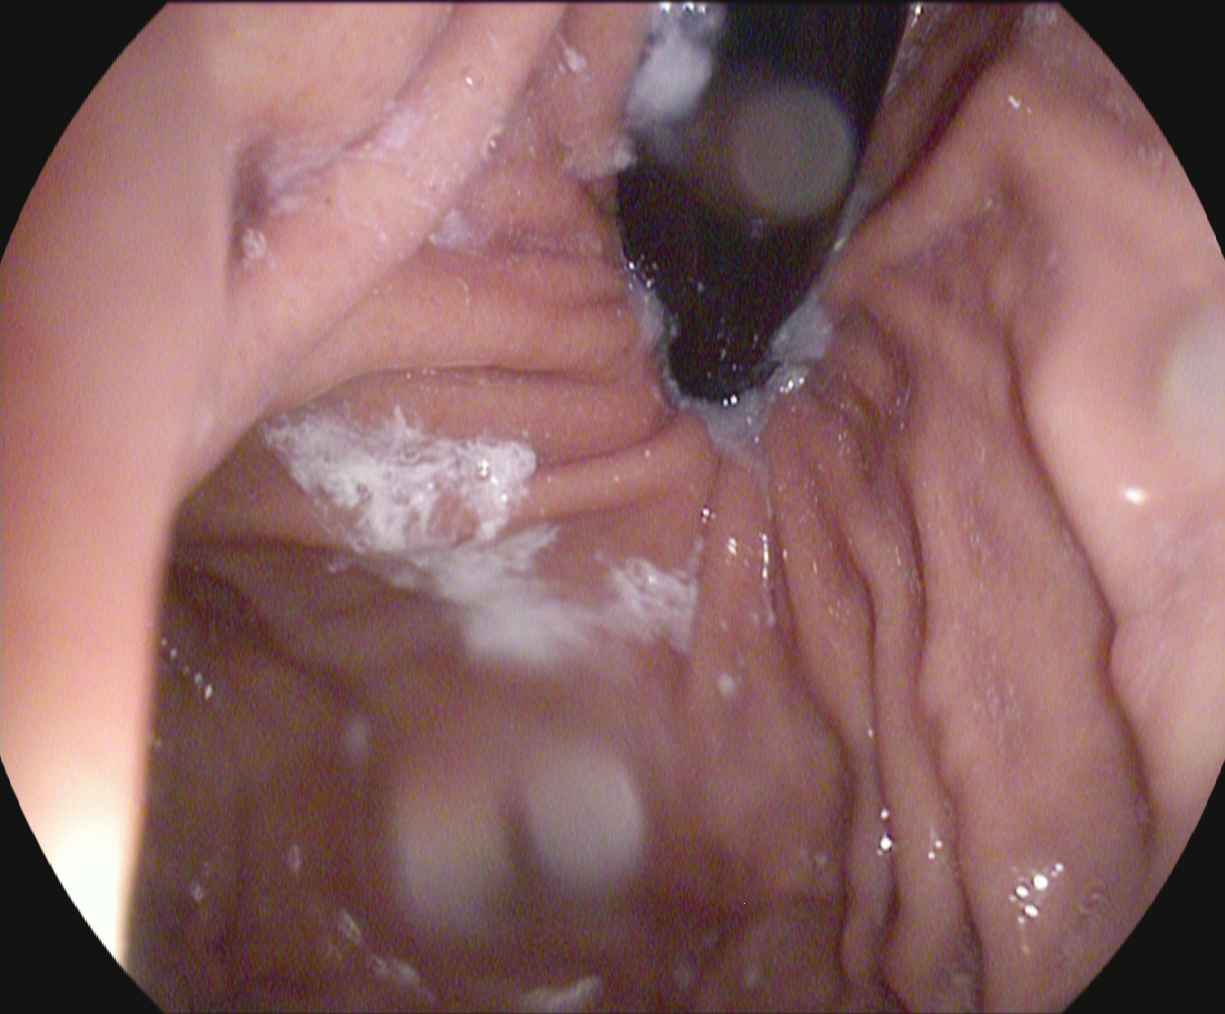PROCEDURE: Gastroscopy.
CATEGORY: Anatomical landmark.
FINDINGS: Stomach in retroflexion.